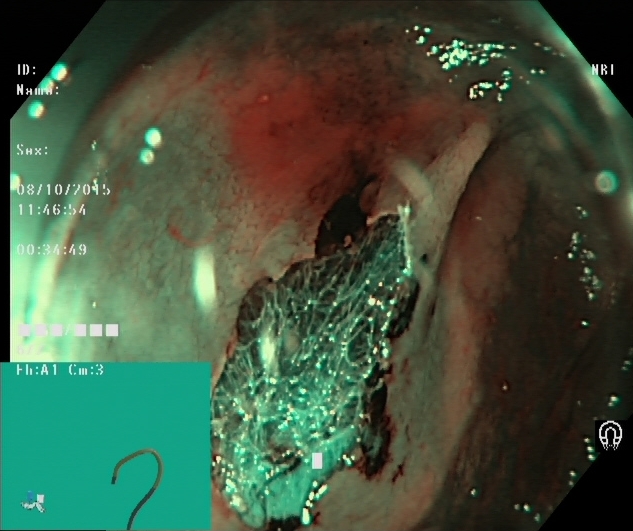PROCEDURE: Lower-GI endoscopy.
CATEGORY: Therapeutic intervention.
FINDINGS: Dyed resection margins (post-polypectomy).